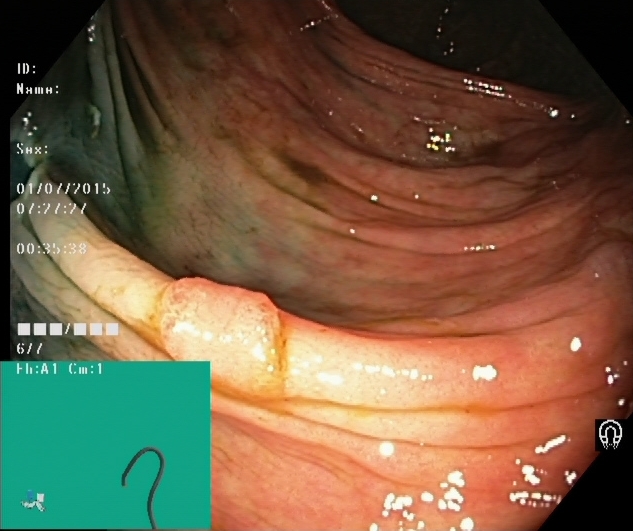GI endoscopy image of the lower GI tract showing dyed and lifted polyp (pre-resection).